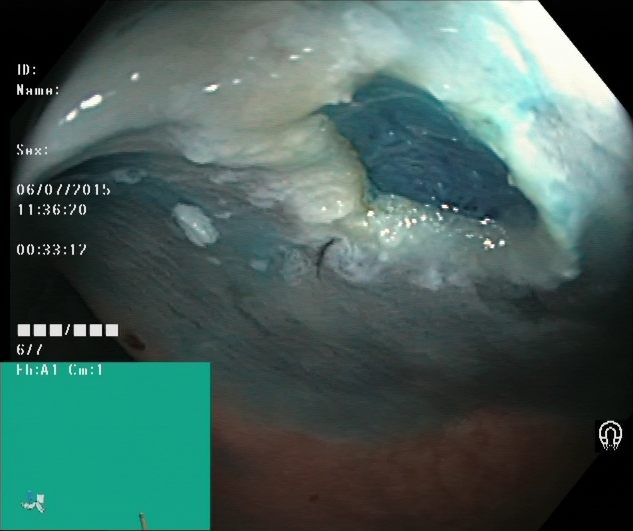This endoscopic image shows dyed resection margins (post-polypectomy).